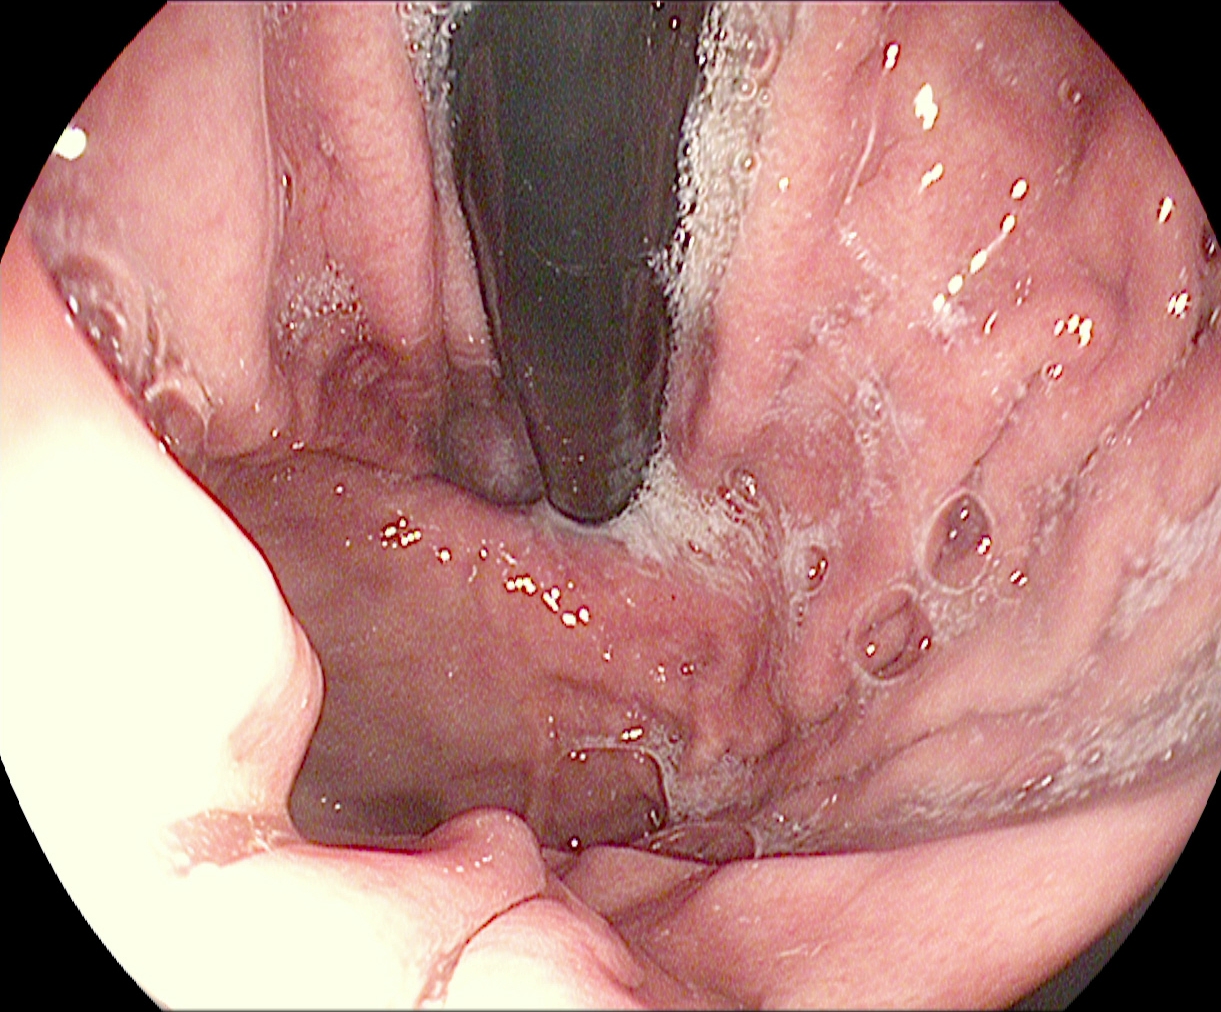{"modality": "esophagogastroduodenoscopy", "category": "anatomical landmark", "finding": "stomach in retroflexion"}